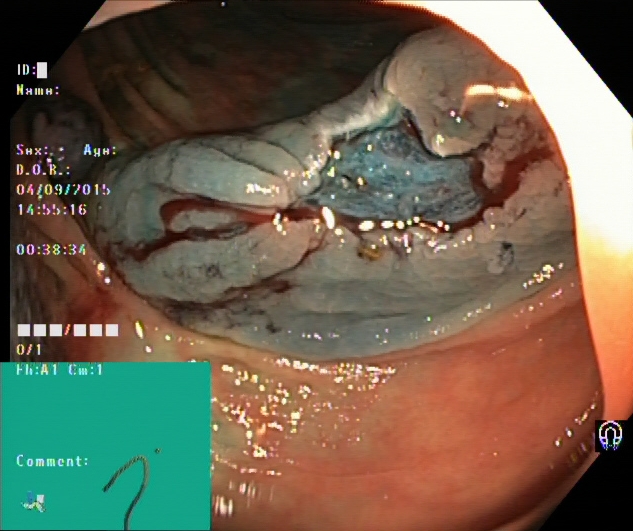Dyed resection margins (post-polypectomy).